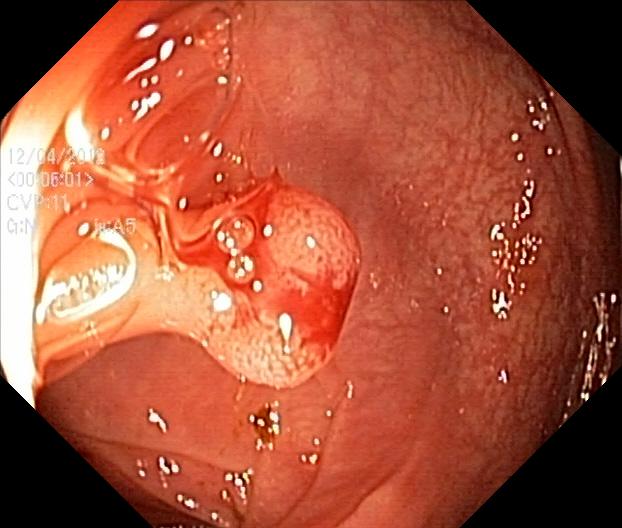Endoscopy image of the lower GI tract showing colorectal polyp(s).